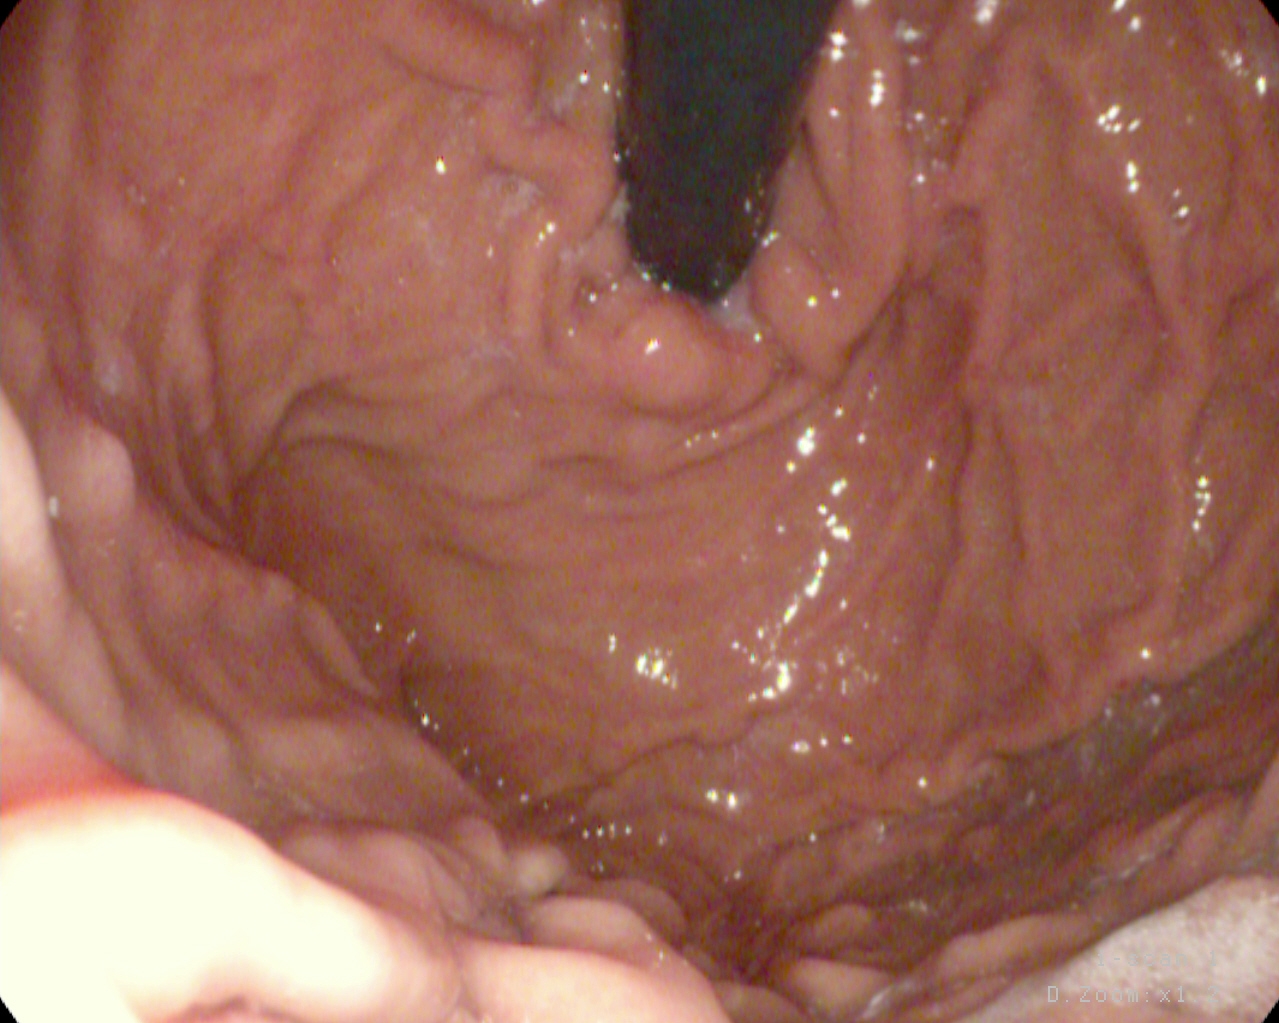Esophagogastroduodenoscopy. Anatomical landmark. Finding: stomach in retroflexion.